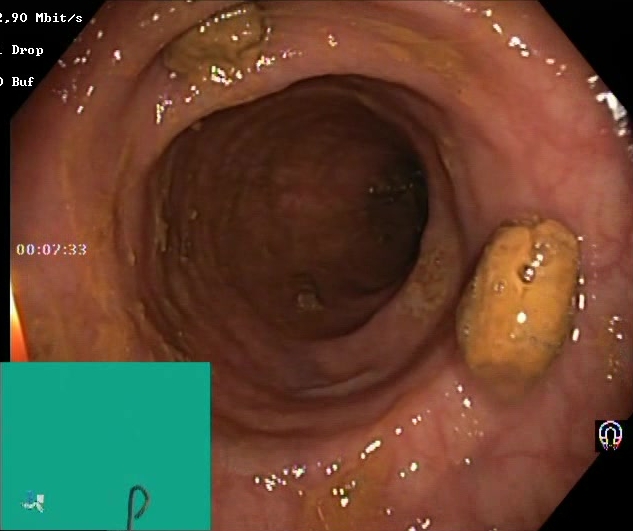impacted stool.